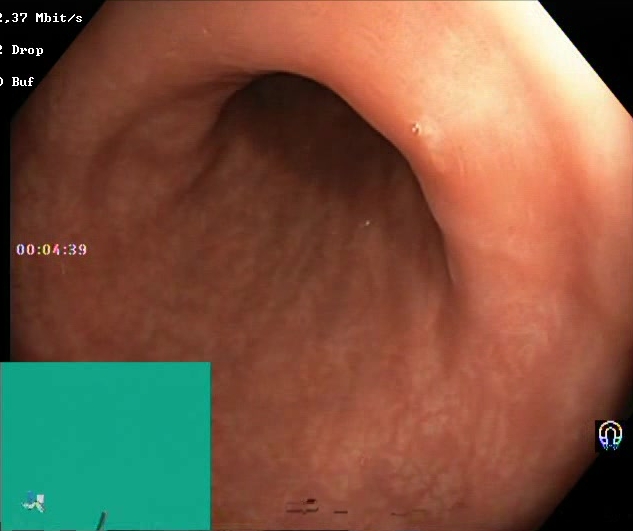modality: lower-GI endoscopy
tract: lower GI tract
category: mucosal-view quality
finding: Boston Bowel Preparation Scale score 2–3 (adequate preparation)